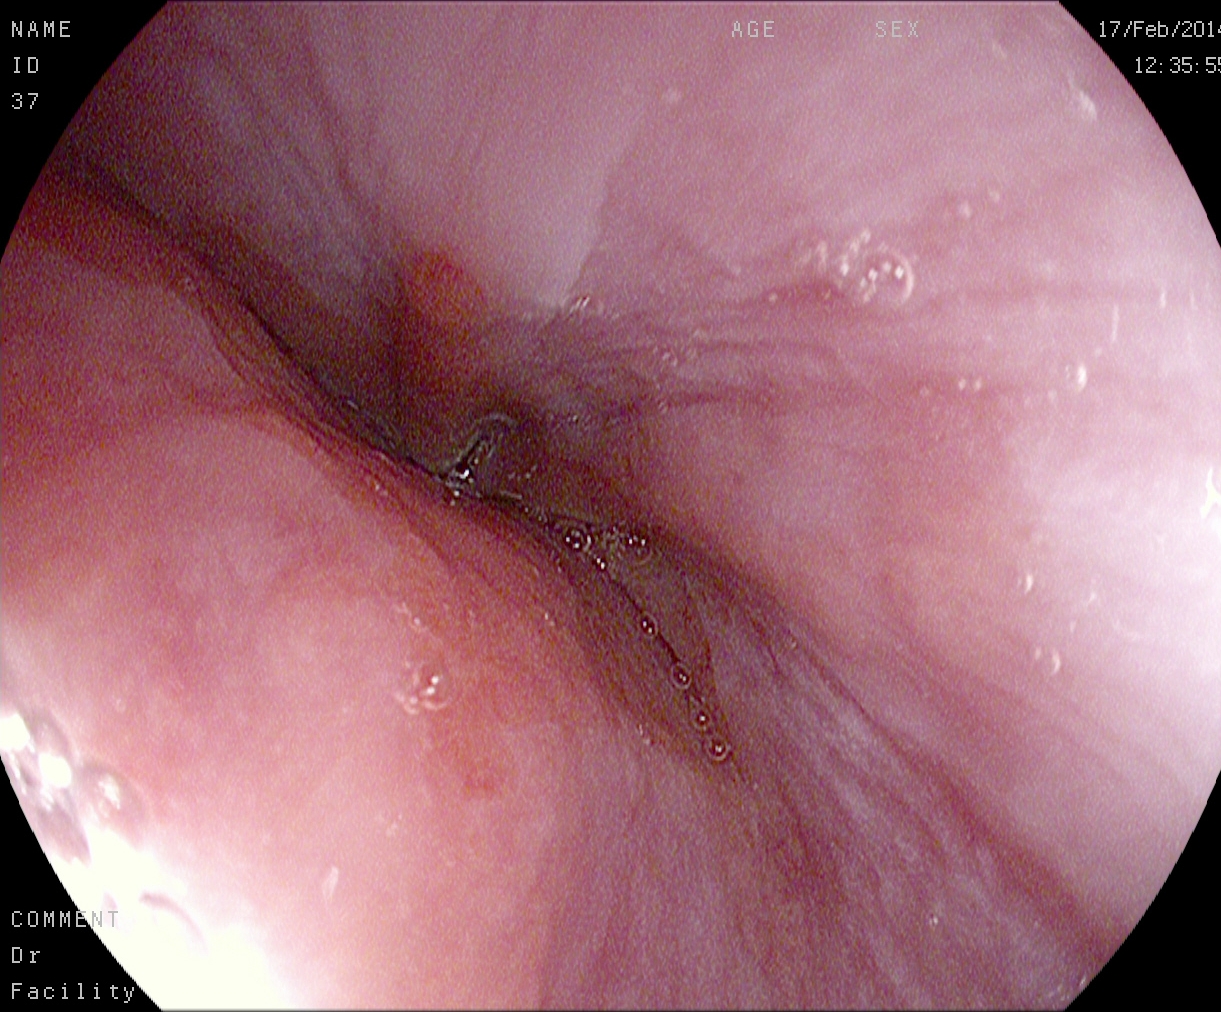EGD. Tract: upper GI tract. Finding: Z-line (gastroesophageal junction).